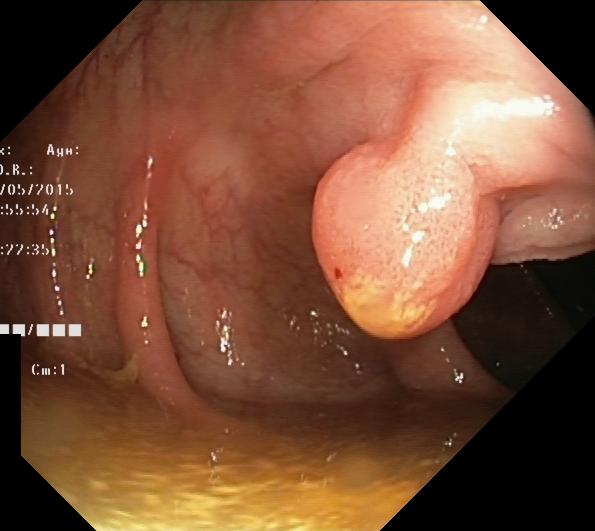Colonoscopy — colorectal polyp(s).